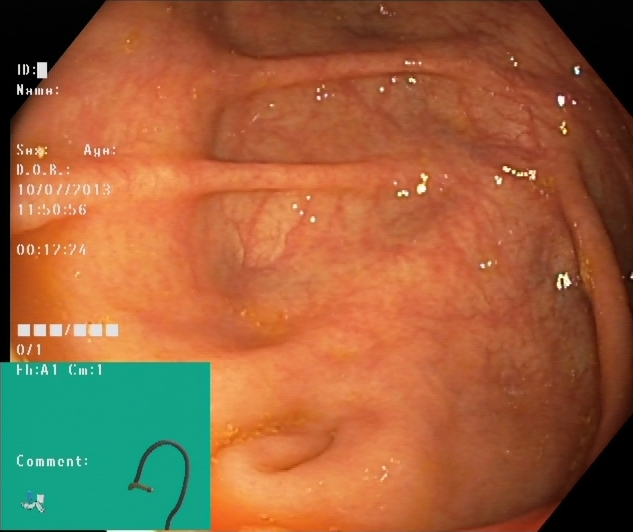{"modality": "colonoscopy", "tract": "lower GI tract", "finding": "cecum"}